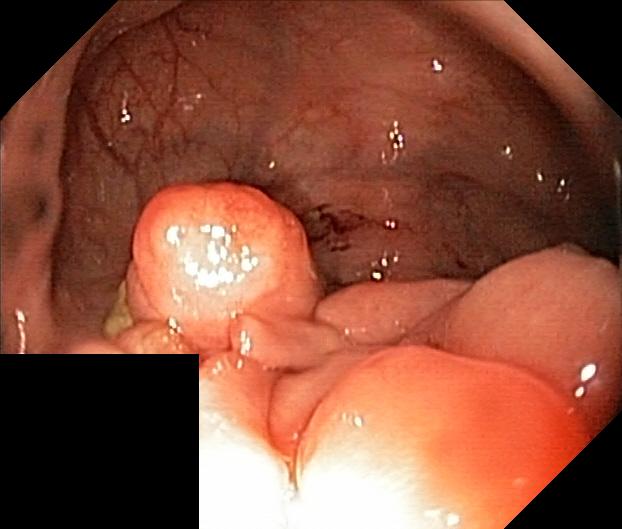This endoscopic image of the lower GI tract shows colorectal polyp(s).